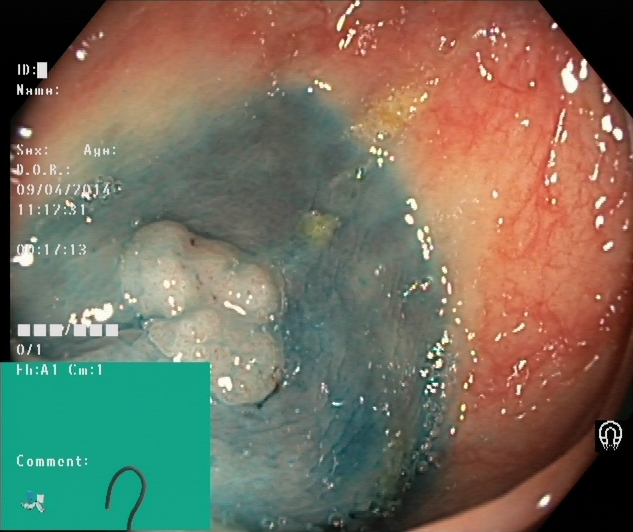modality: colonoscopy; tract: lower GI tract; category: therapeutic intervention; finding: dyed and lifted polyp (pre-resection)